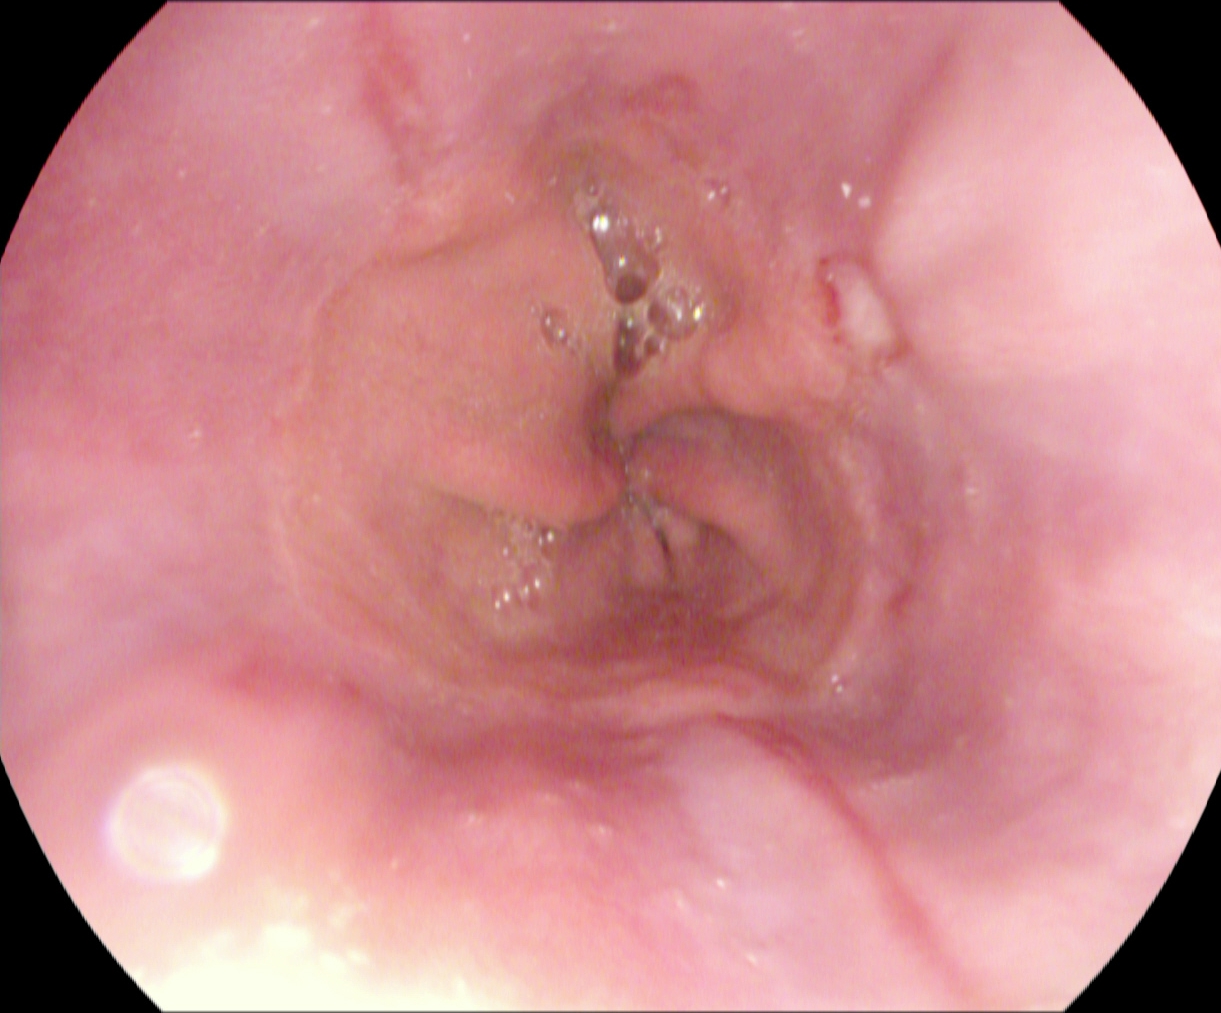Upper-GI endoscopy — reflux esophagitis, Los Angeles grade B–D.